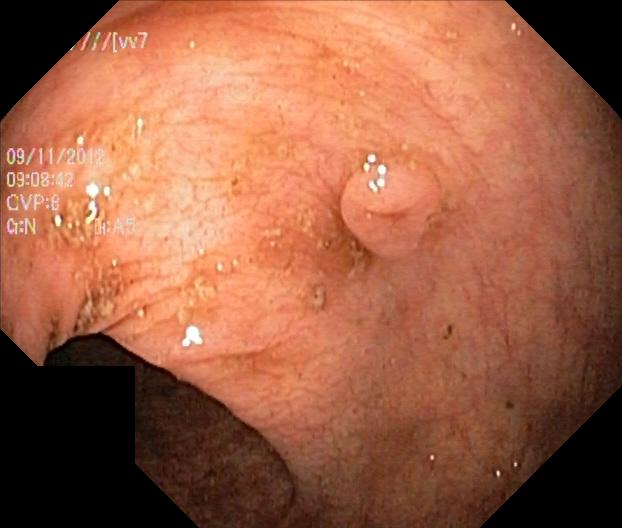Colorectal polyp(s).